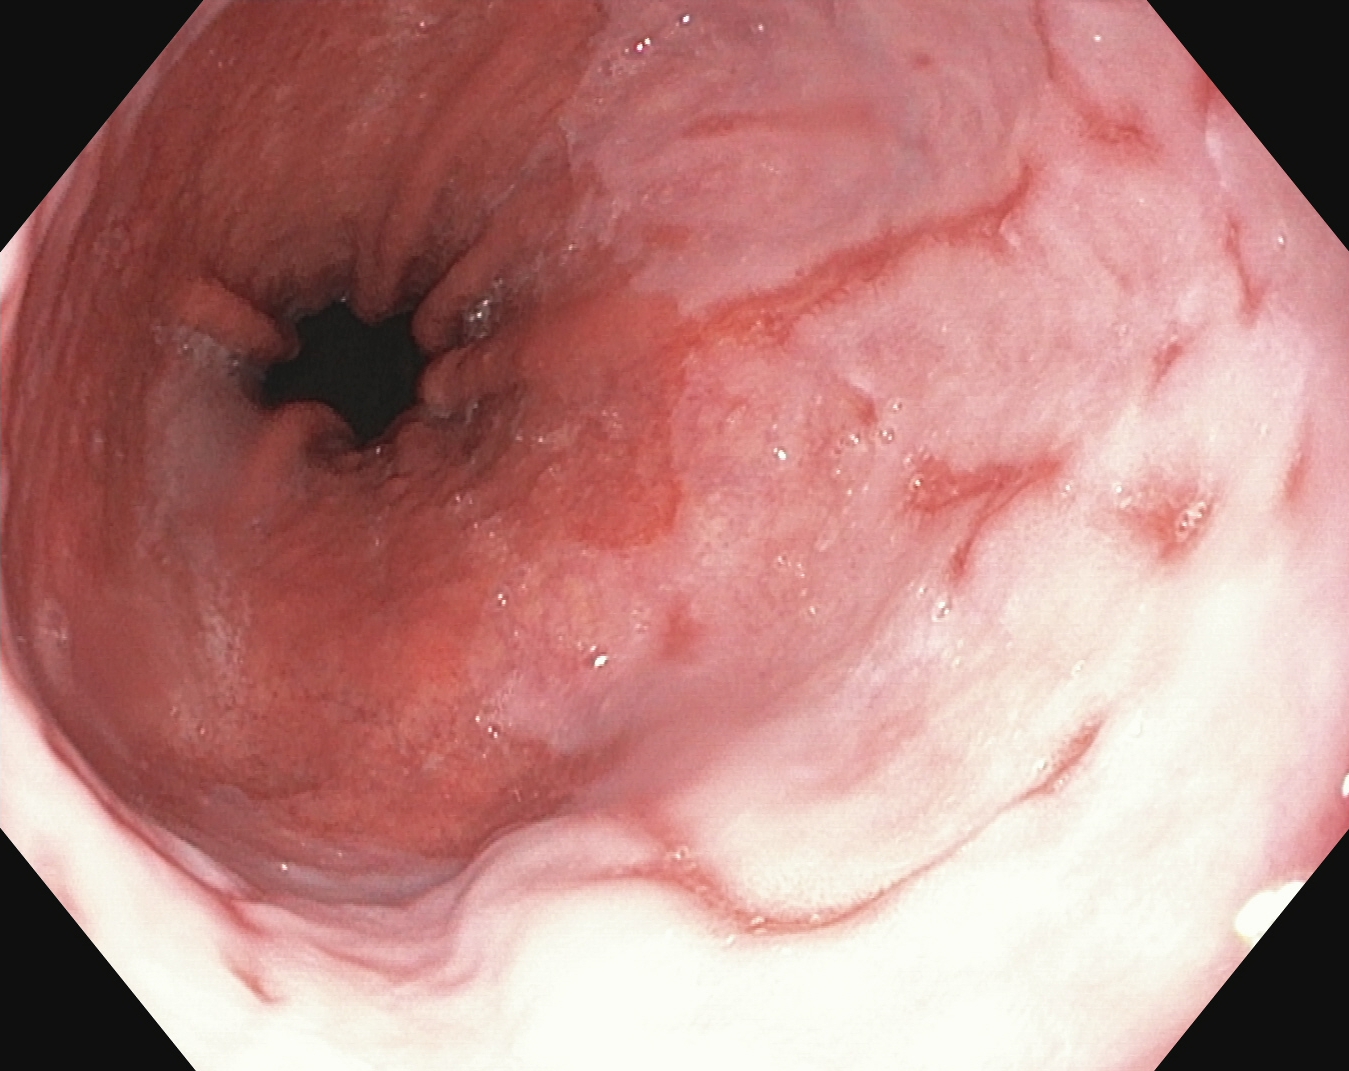modality: upper-GI endoscopy | finding: reflux esophagitis, LA grade B–D